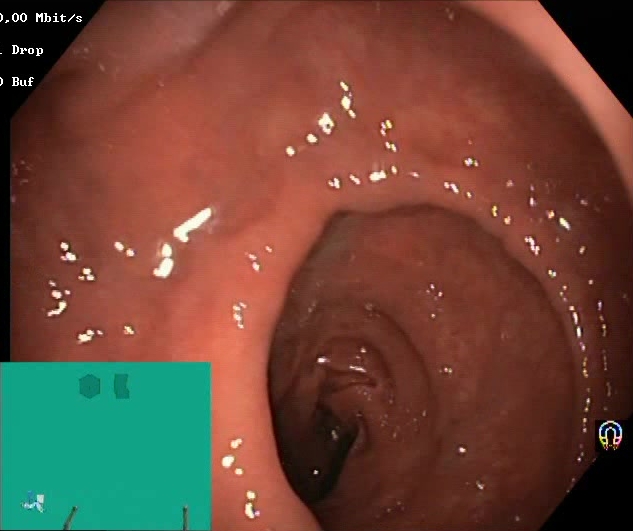{"modality": "lower-GI endoscopy", "tract": "lower GI tract", "category": "mucosal-view quality", "finding": "Boston Bowel Preparation Scale score 2\u20133 (adequate preparation)"}